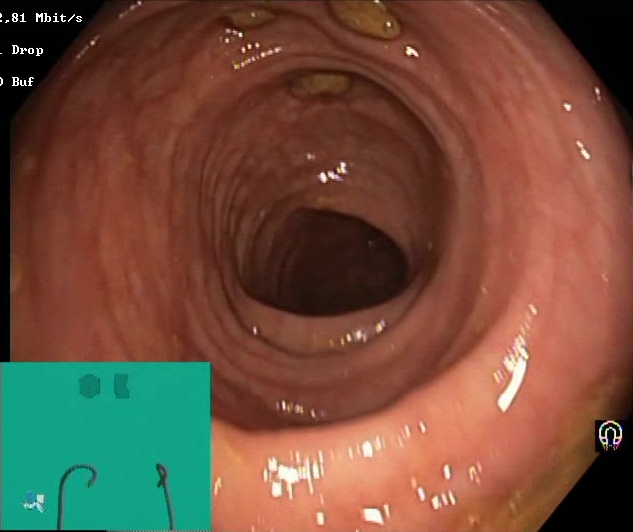This endoscopy frame of the lower GI tract shows impacted stool.